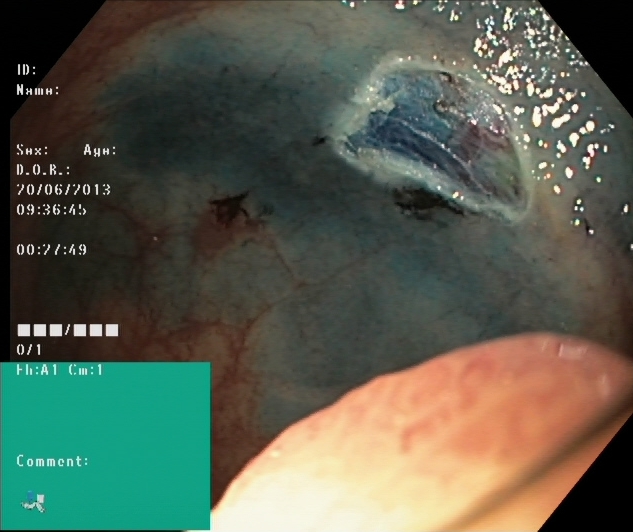PROCEDURE: Colonoscopy.
CATEGORY: Therapeutic intervention.
FINDINGS: Dyed resection margins (post-polypectomy).